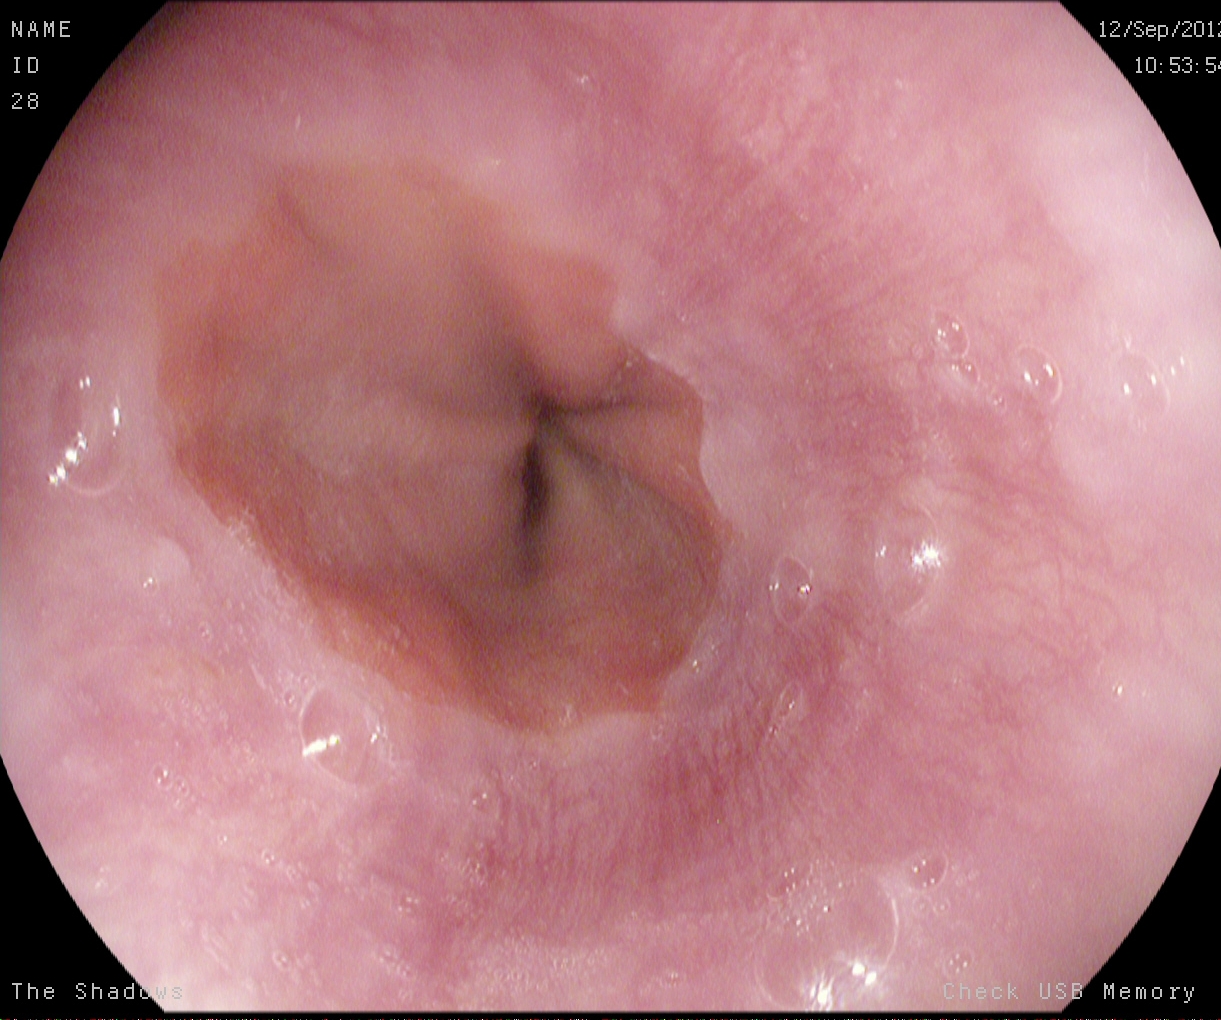This endoscopic image shows Z-line (gastroesophageal junction).